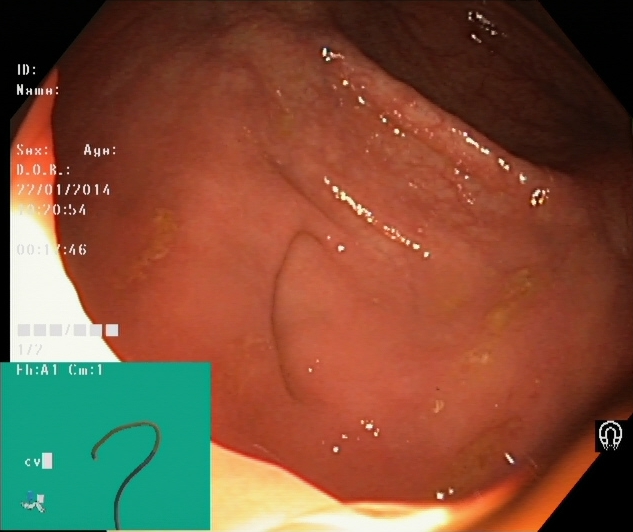Colonoscopy. Tract: lower GI tract. Anatomical landmark. Finding: cecum.